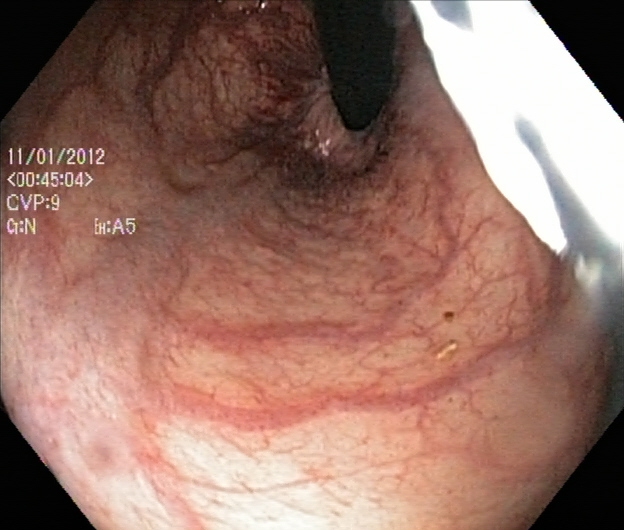modality: colonoscopy; tract: lower GI tract; category: anatomical landmark; finding: rectum in retroflexion